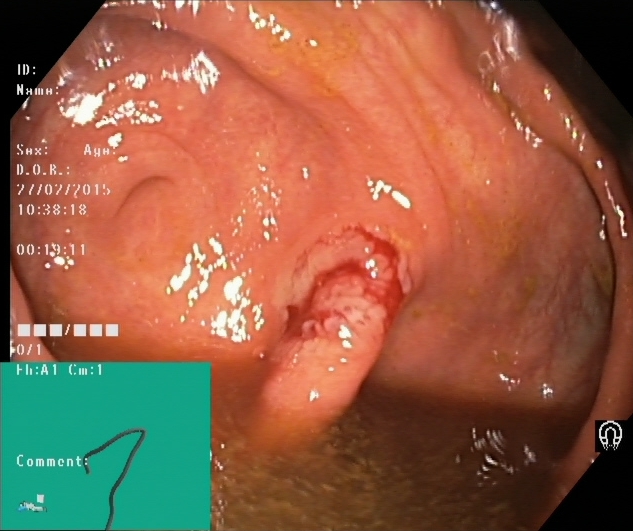Lower gastrointestinal endoscopy image of the lower GI tract showing cecum.